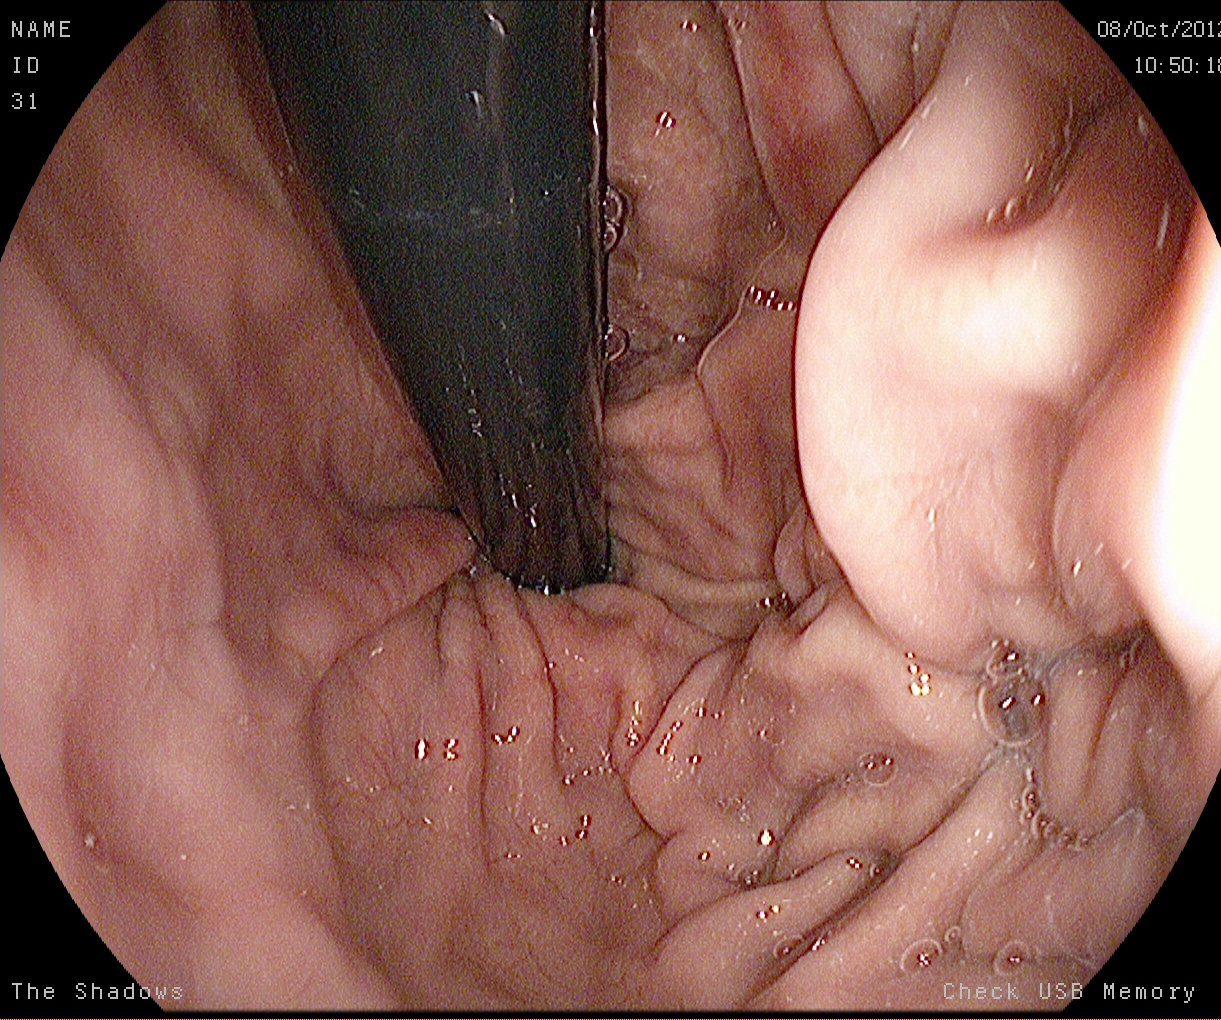EGD. Finding: stomach in retroflexion.